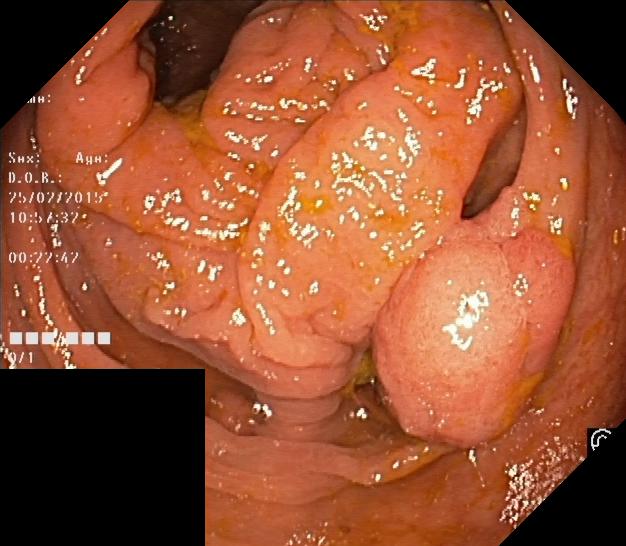PROCEDURE: Lower gastrointestinal endoscopy.
CATEGORY: Pathological finding.
FINDINGS: Colorectal polyp(s).